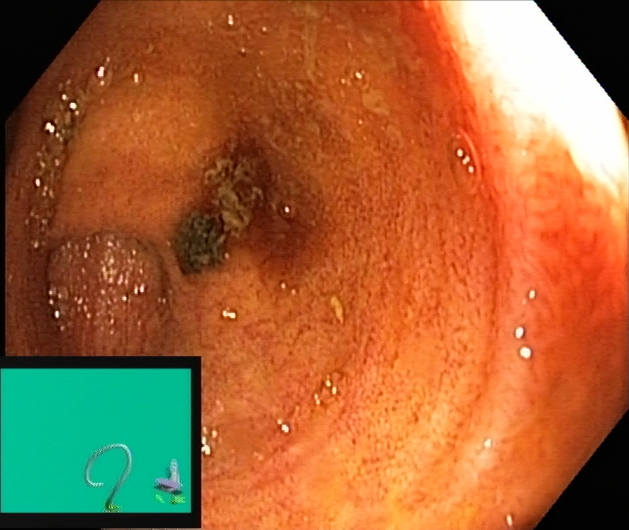Cecum.